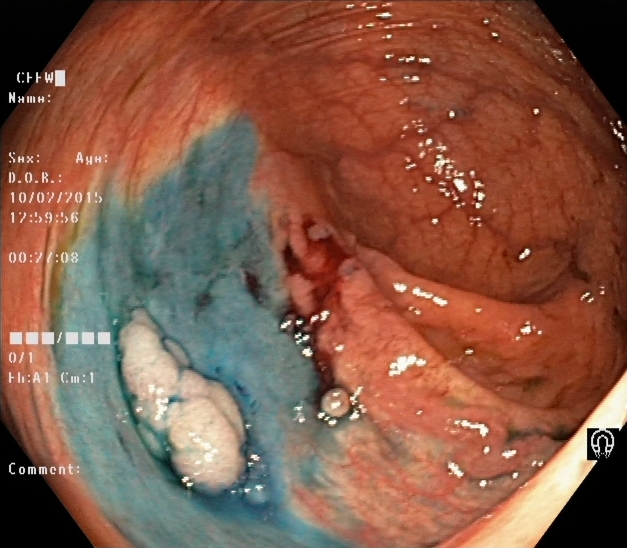PROCEDURE: Lower-GI endoscopy.
CATEGORY: Therapeutic intervention.
FINDINGS: Dyed and lifted polyp (pre-resection).